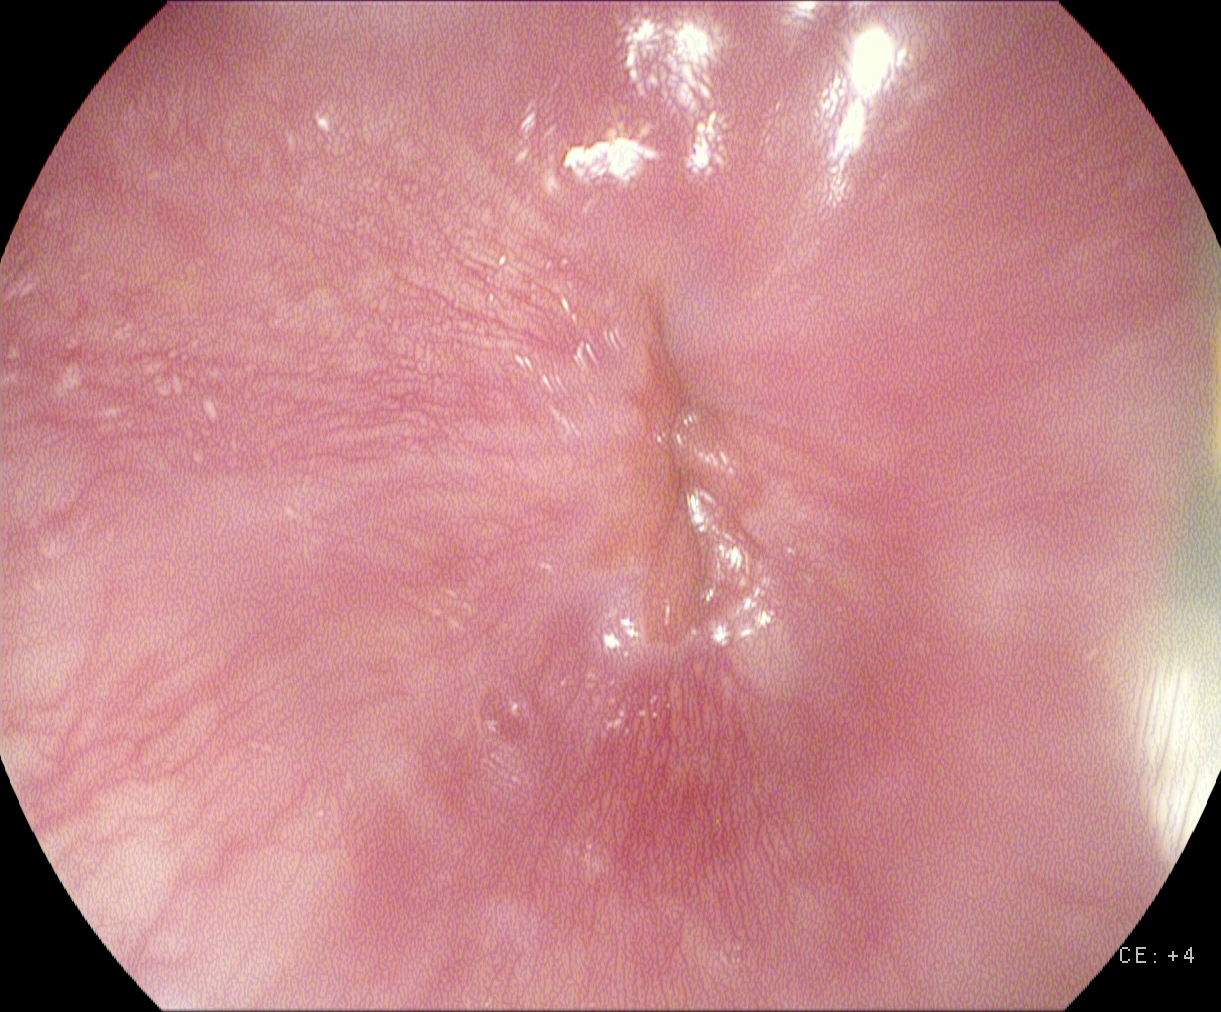modality: gastroscopy | tract: upper GI tract | category: anatomical landmark | finding: Z-line (gastroesophageal junction)